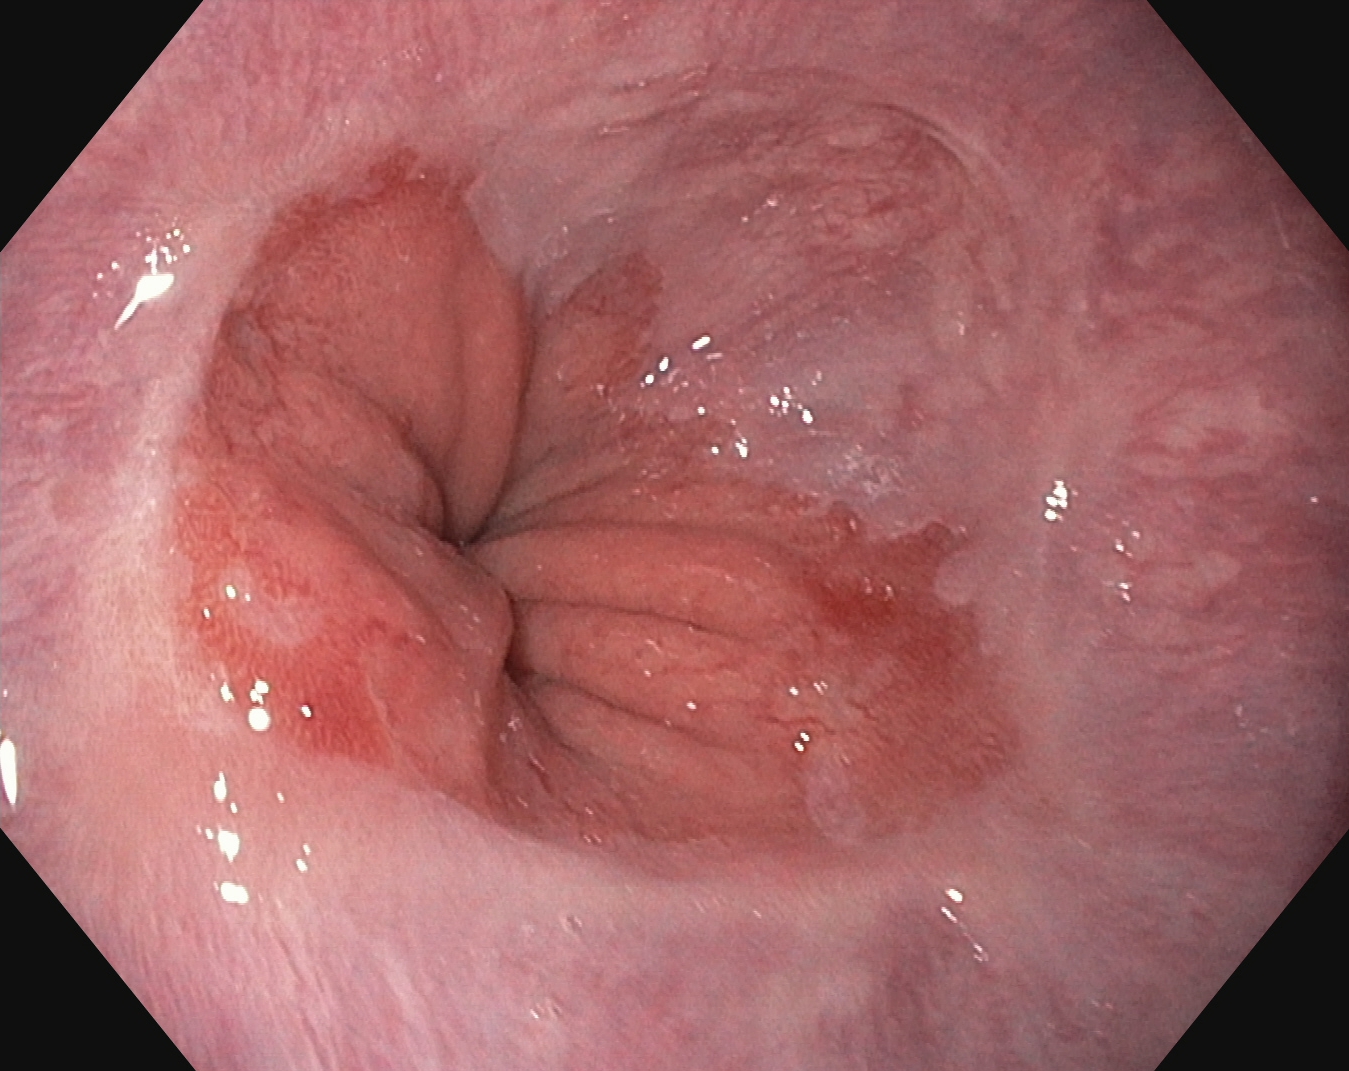reflux esophagitis, LA grade A.